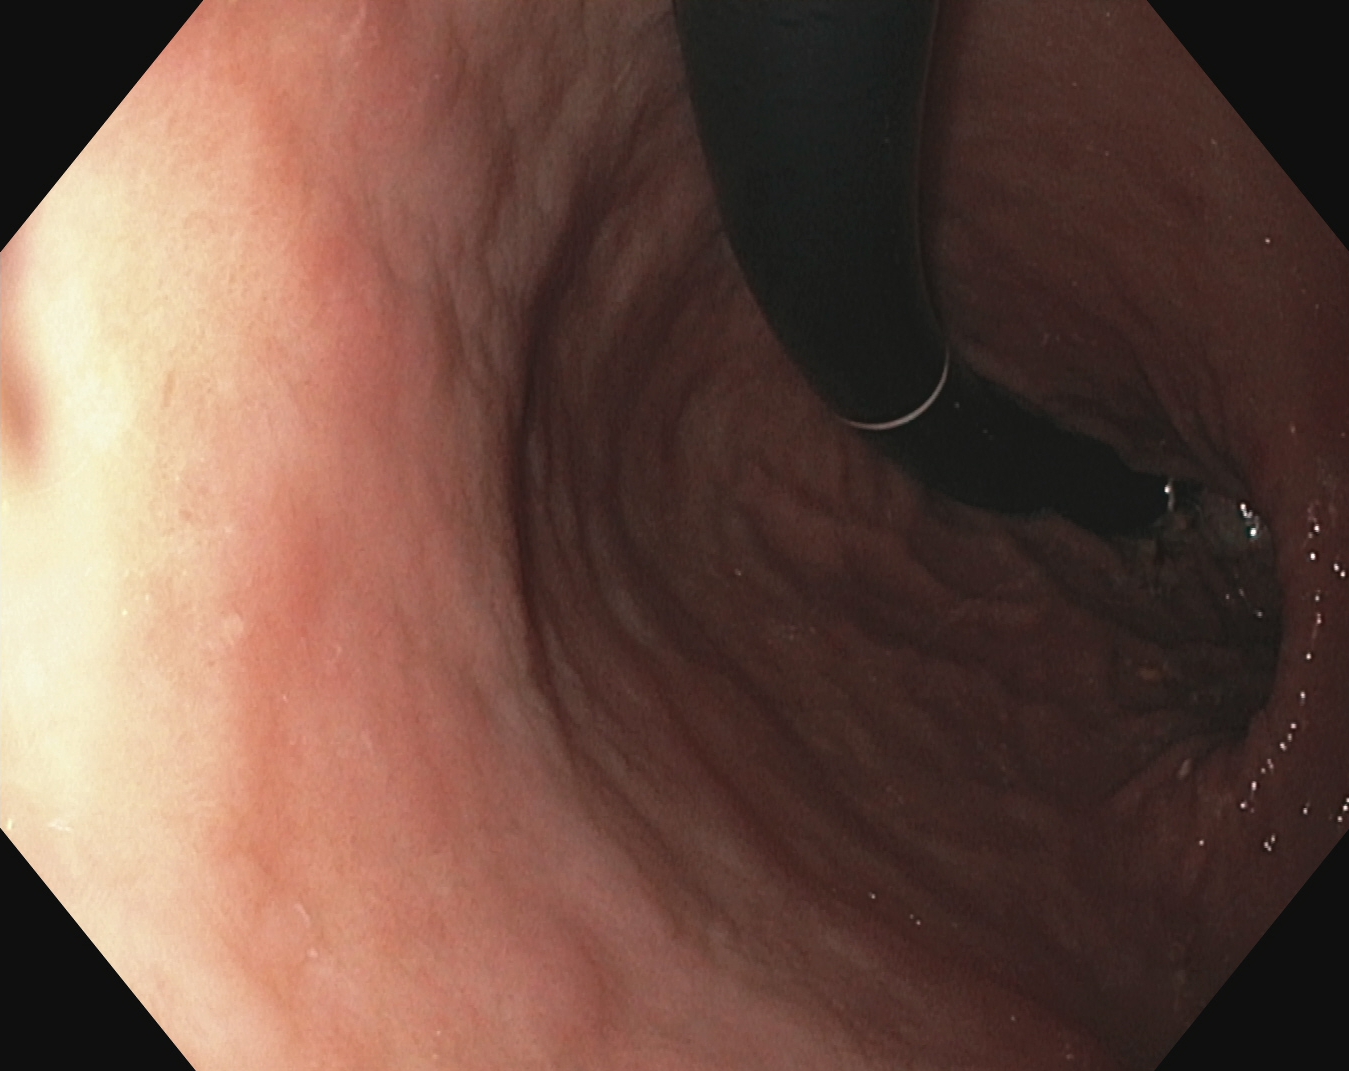Endoscopy image of the upper GI tract showing stomach in retroflexion.